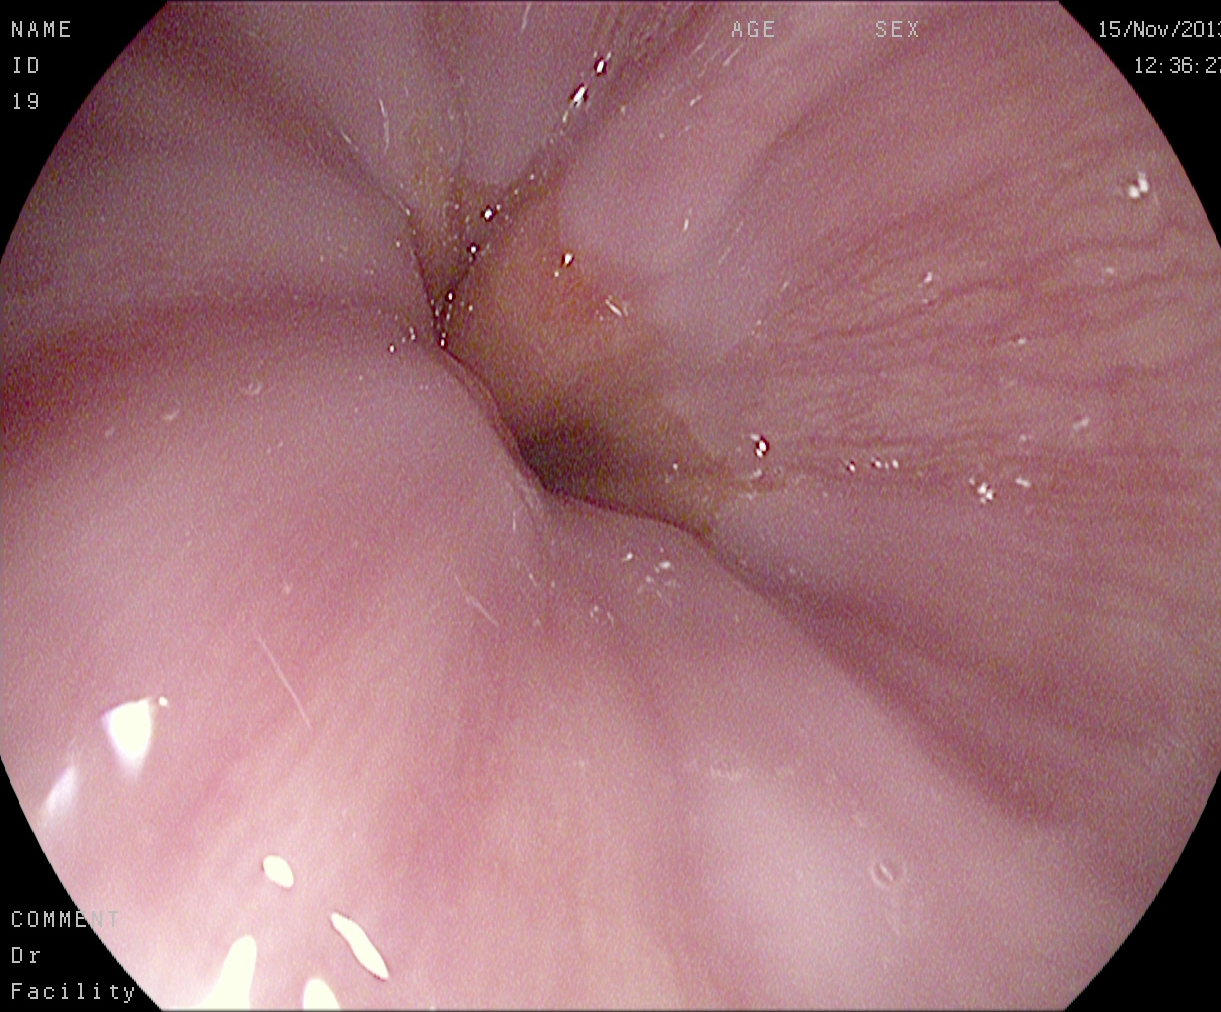{"modality": "gastroscopy", "tract": "upper GI tract", "category": "anatomical landmark", "finding": "Z-line (gastroesophageal junction)"}